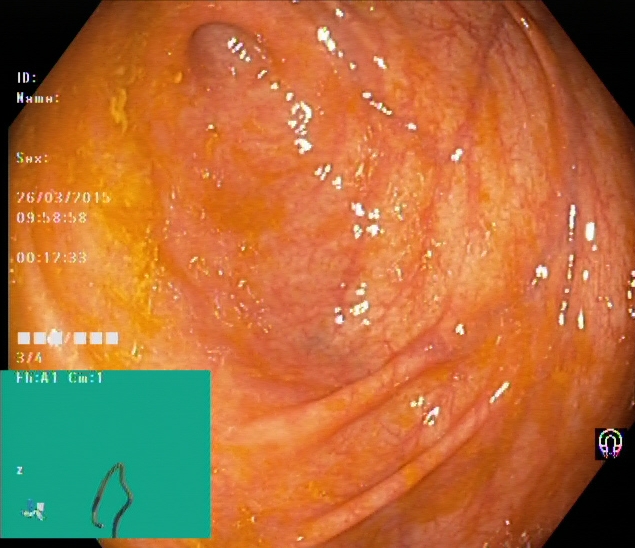Colonoscopy. Finding: cecum.